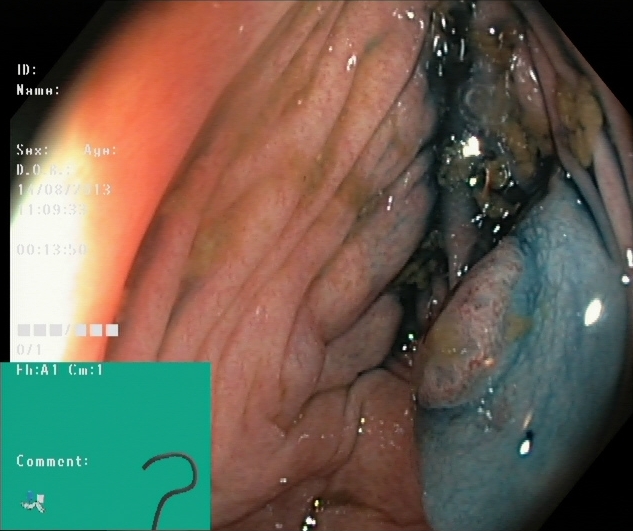Dyed and lifted polyp (pre-resection).